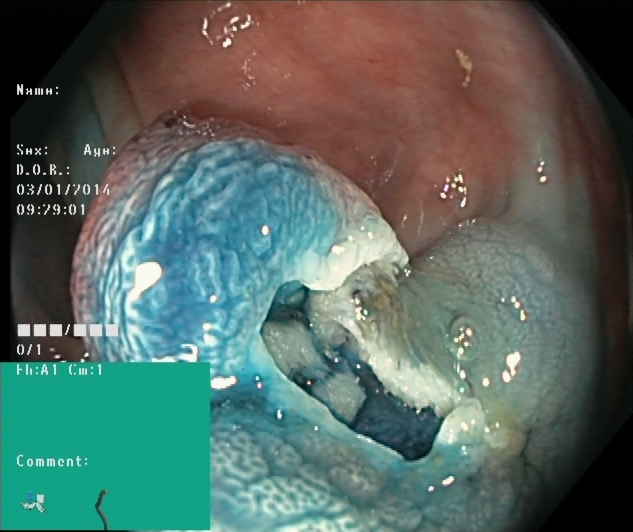Dyed and lifted polyp (pre-resection).